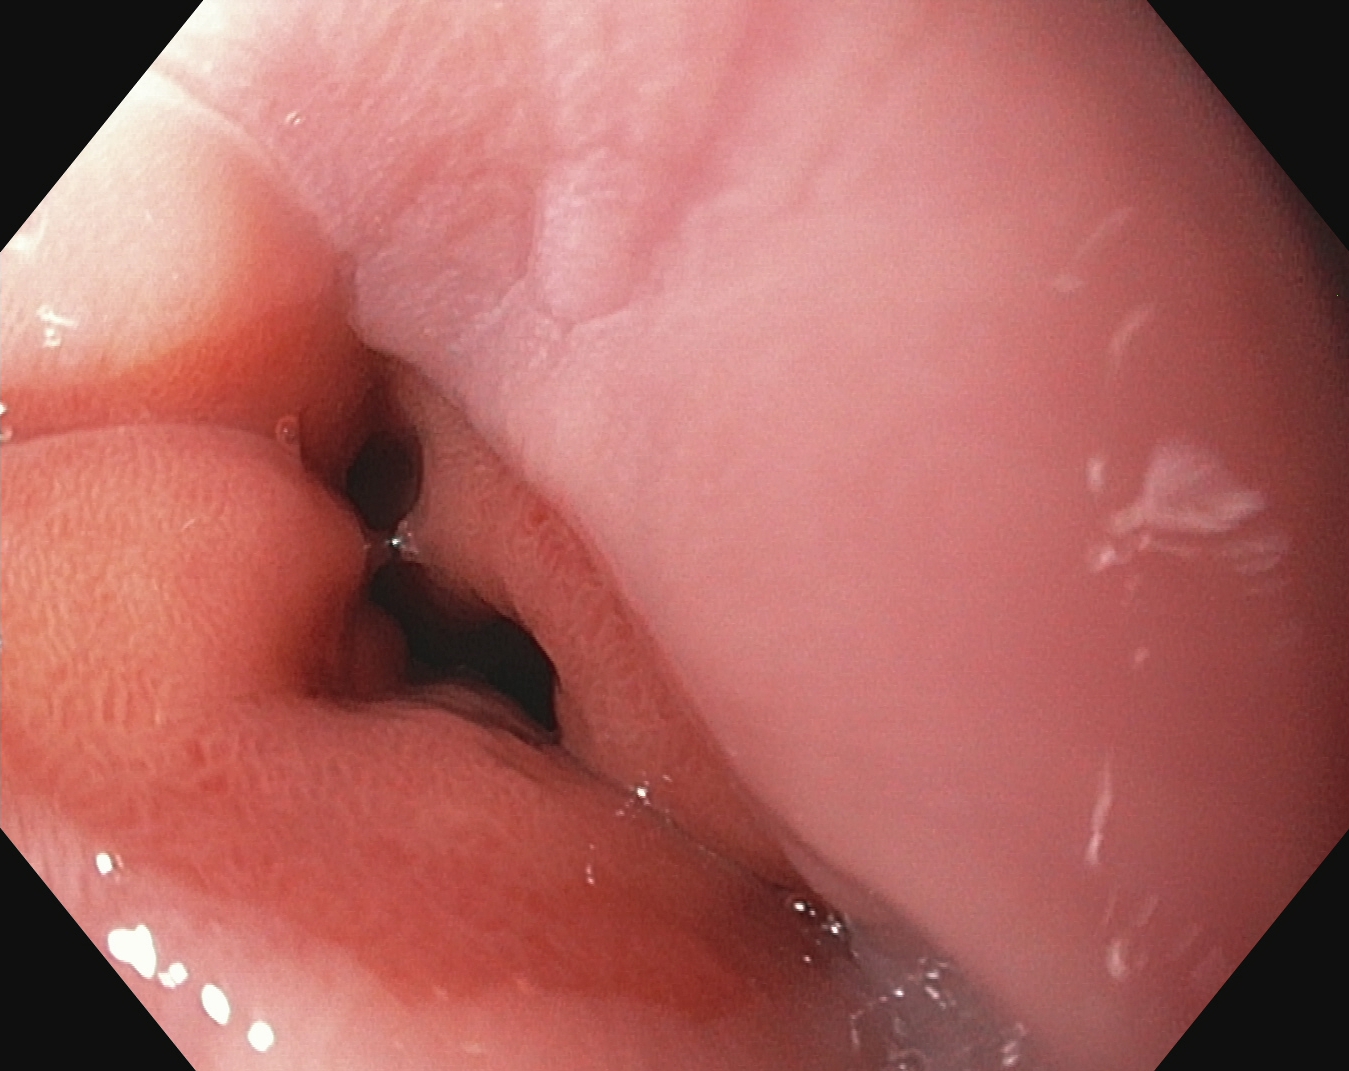Gastroscopy — Z-line (gastroesophageal junction).